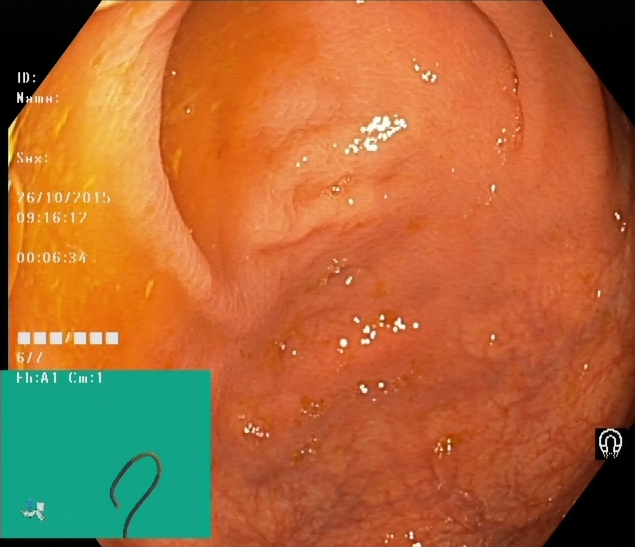Colonoscopy. Tract: lower GI tract. Finding: cecum.